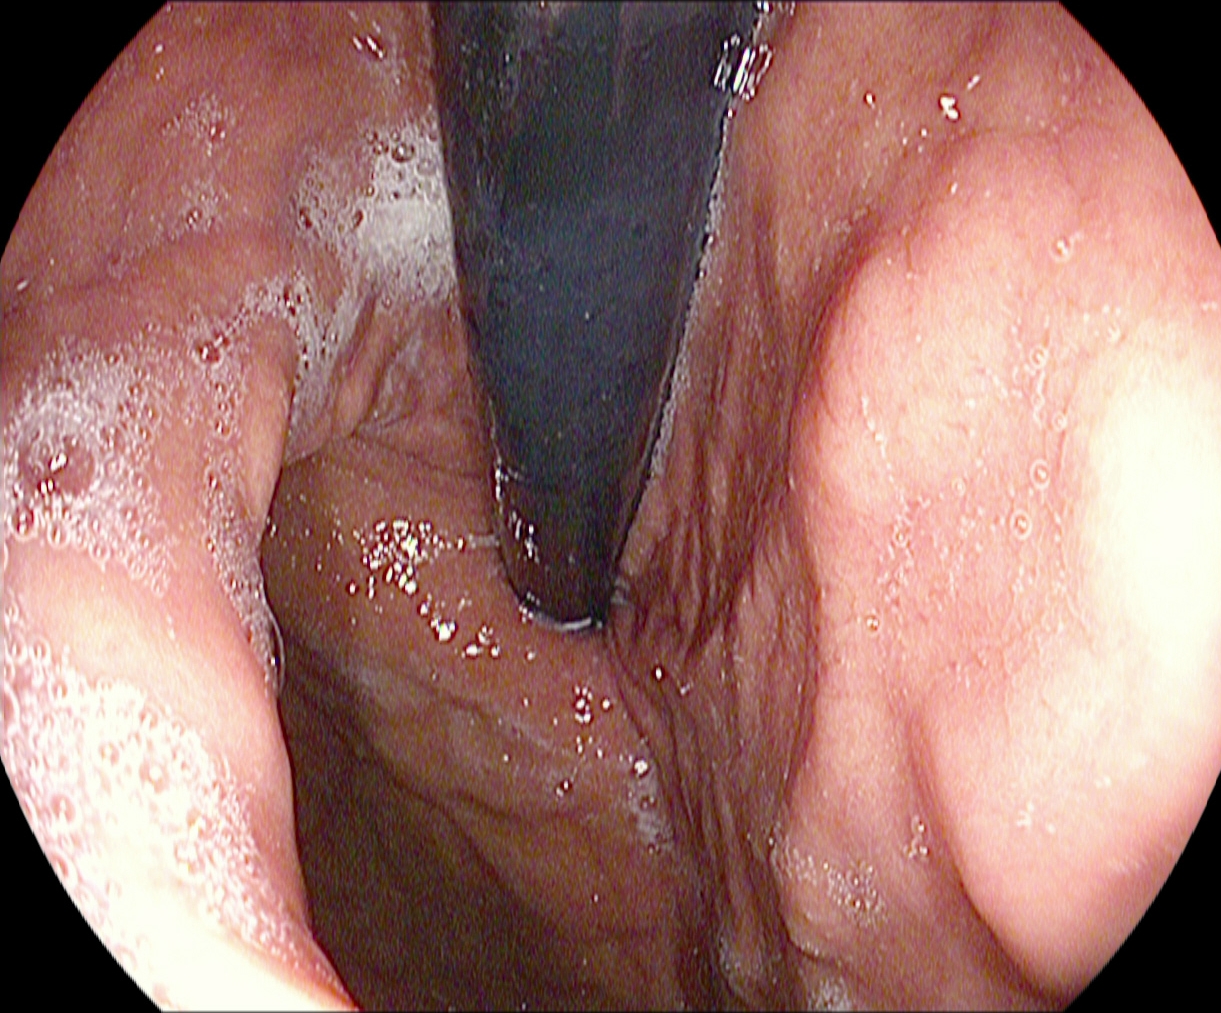Endoscopy image of the upper GI tract showing stomach in retroflexion.